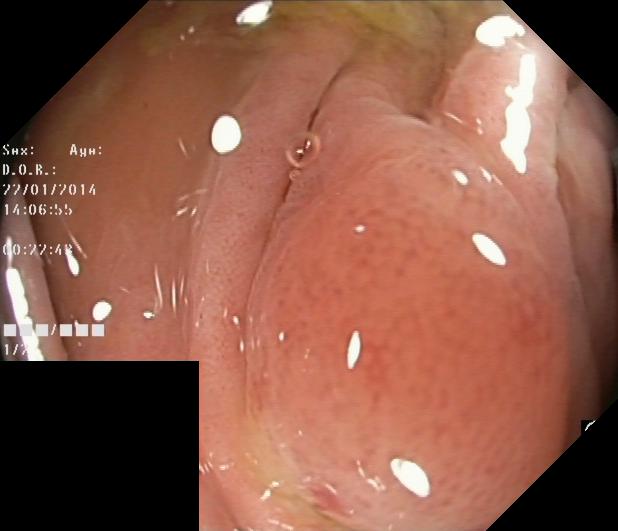Lower-GI endoscopy image showing colorectal polyp(s).